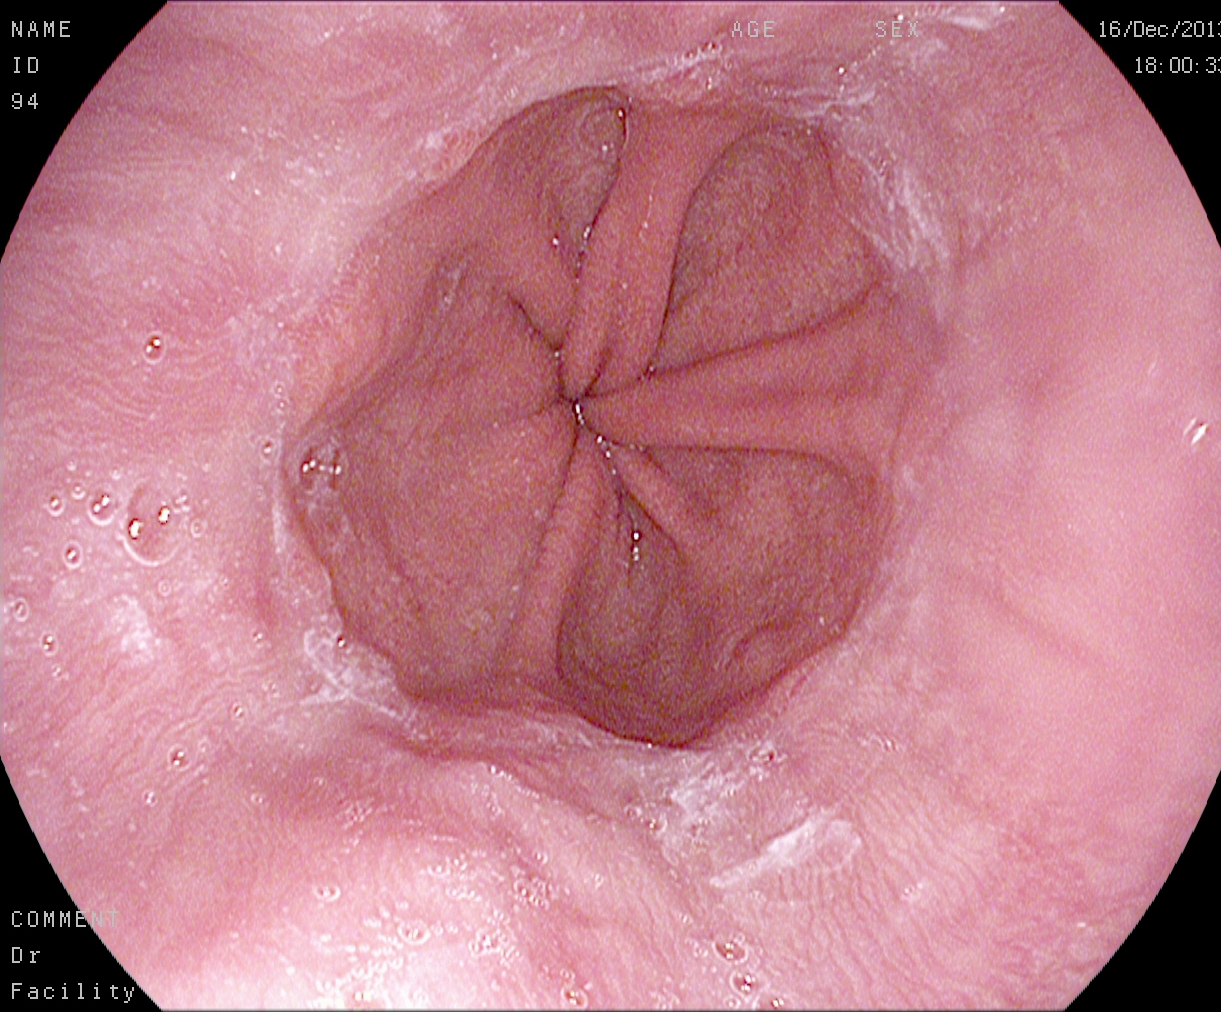modality: gastroscopy | tract: upper GI tract | category: anatomical landmark | finding: Z-line (gastroesophageal junction)